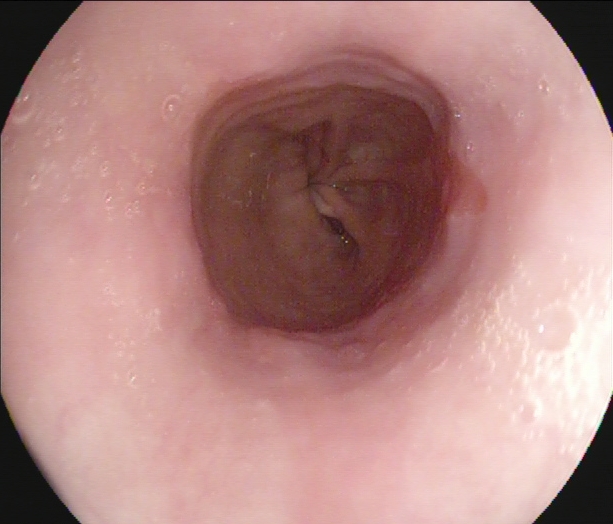Barrett's esophagus.